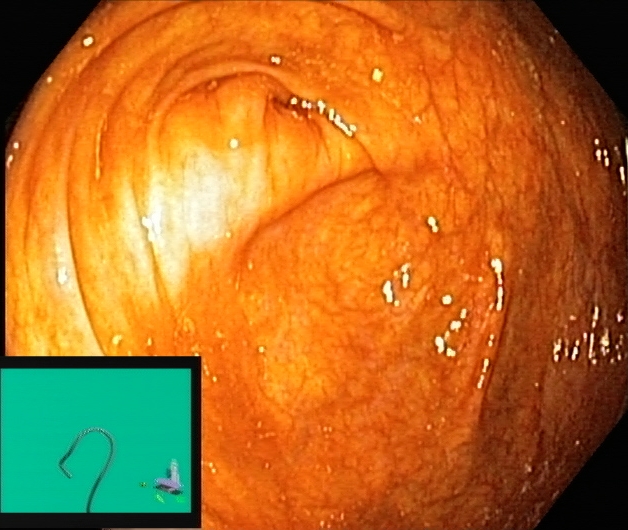This endoscopy frame of the lower GI tract shows cecum.